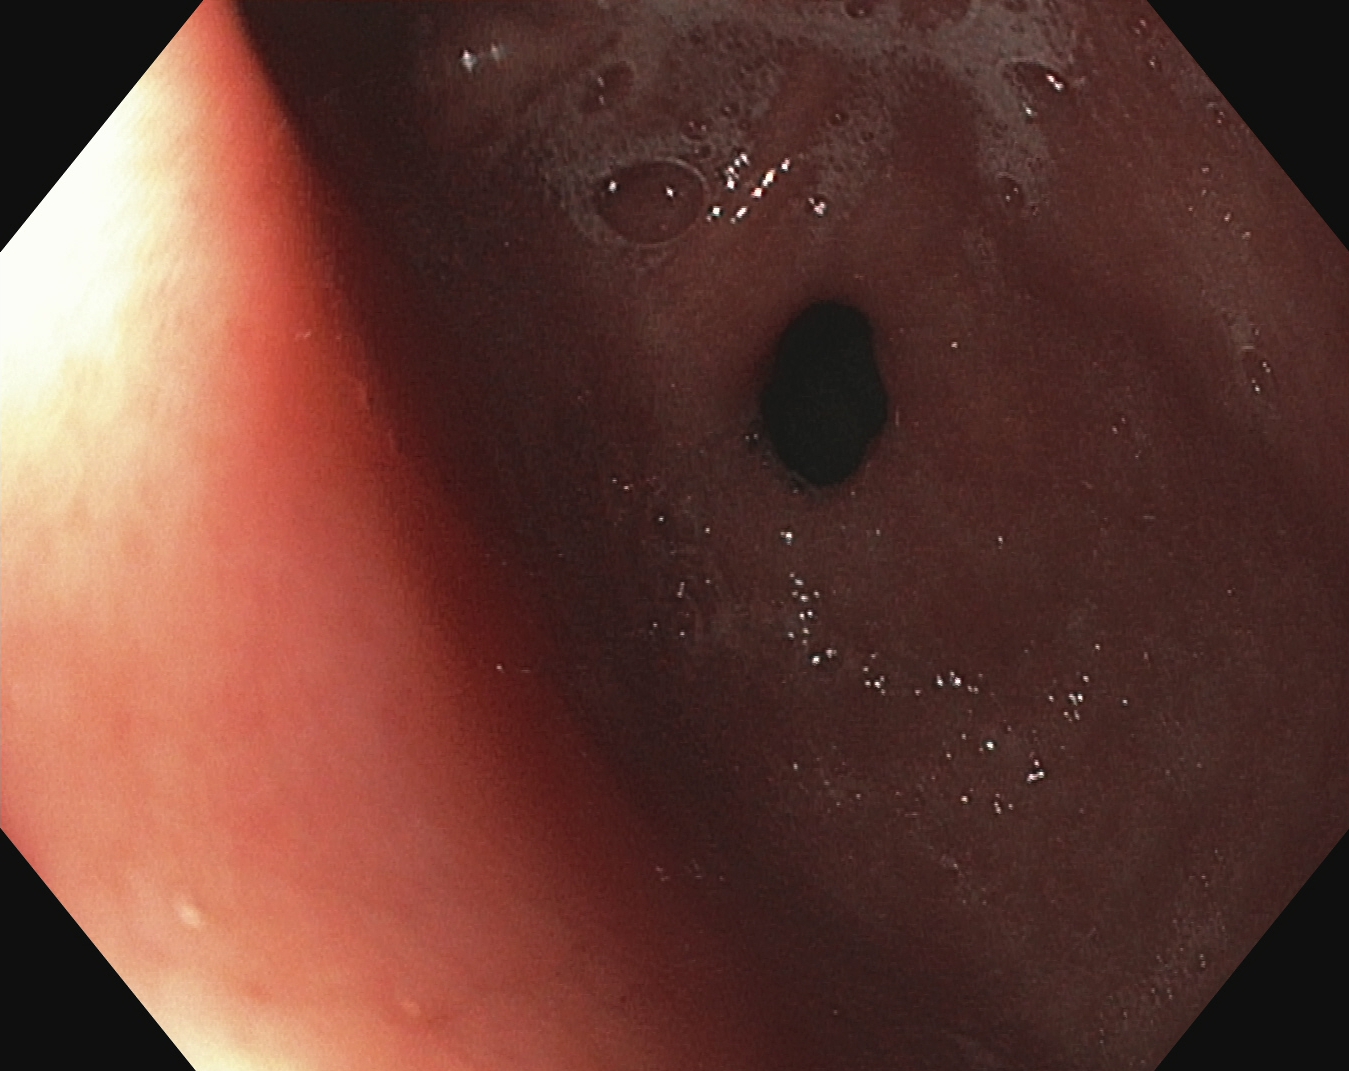{"modality": "esophagogastroduodenoscopy", "tract": "upper GI tract", "finding": "pylorus"}